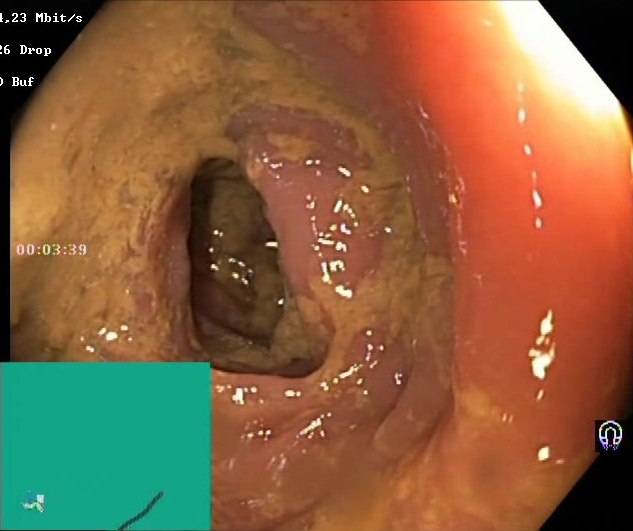PROCEDURE: Lower-GI endoscopy.
CATEGORY: Mucosal-view quality.
FINDINGS: BBPS score 0–1 (inadequate preparation).